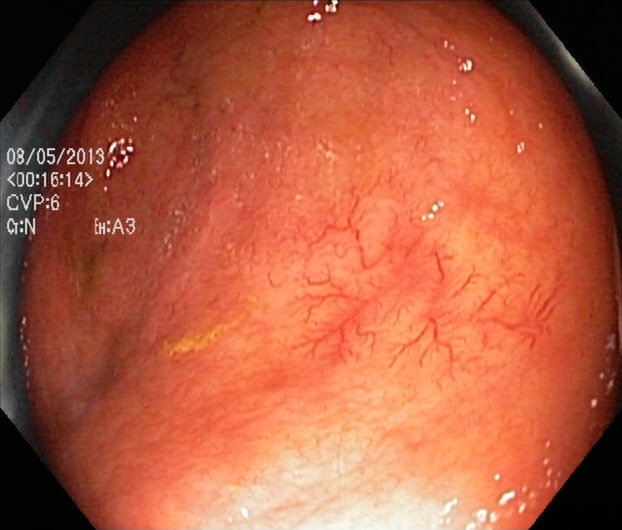modality: lower gastrointestinal endoscopy
finding: ulcerative colitis, Mayo endoscopic subscore 1